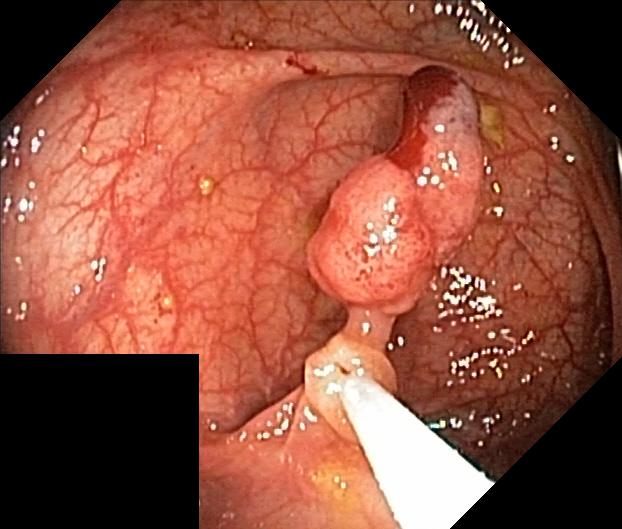colorectal polyp(s).